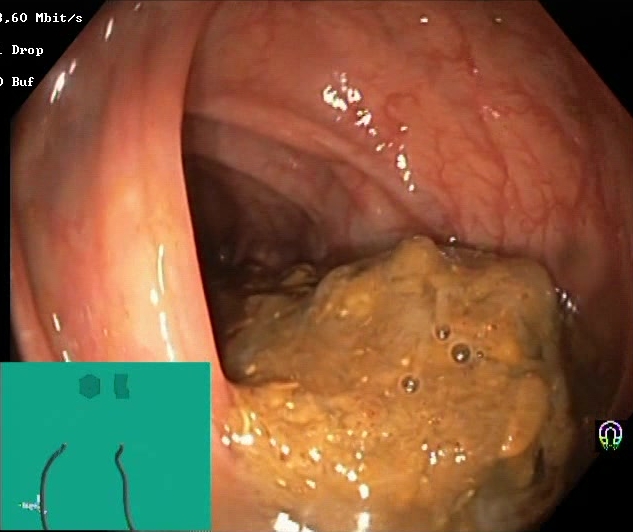This endoscopy frame shows Boston Bowel Preparation Scale score 0–1 (inadequate preparation).